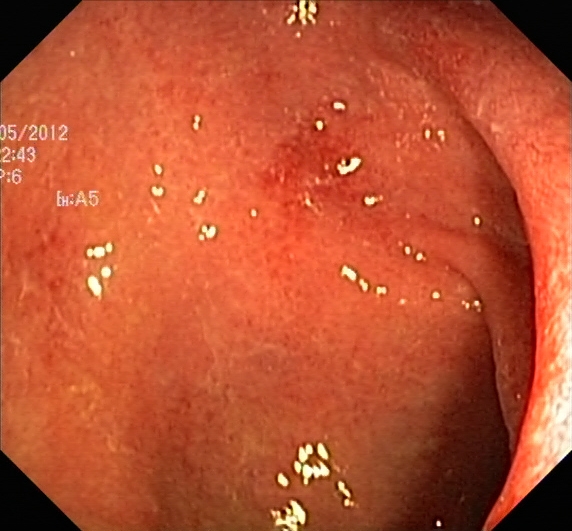Lower gastrointestinal endoscopy — ulcerative colitis, Mayo endoscopic subscore 2.